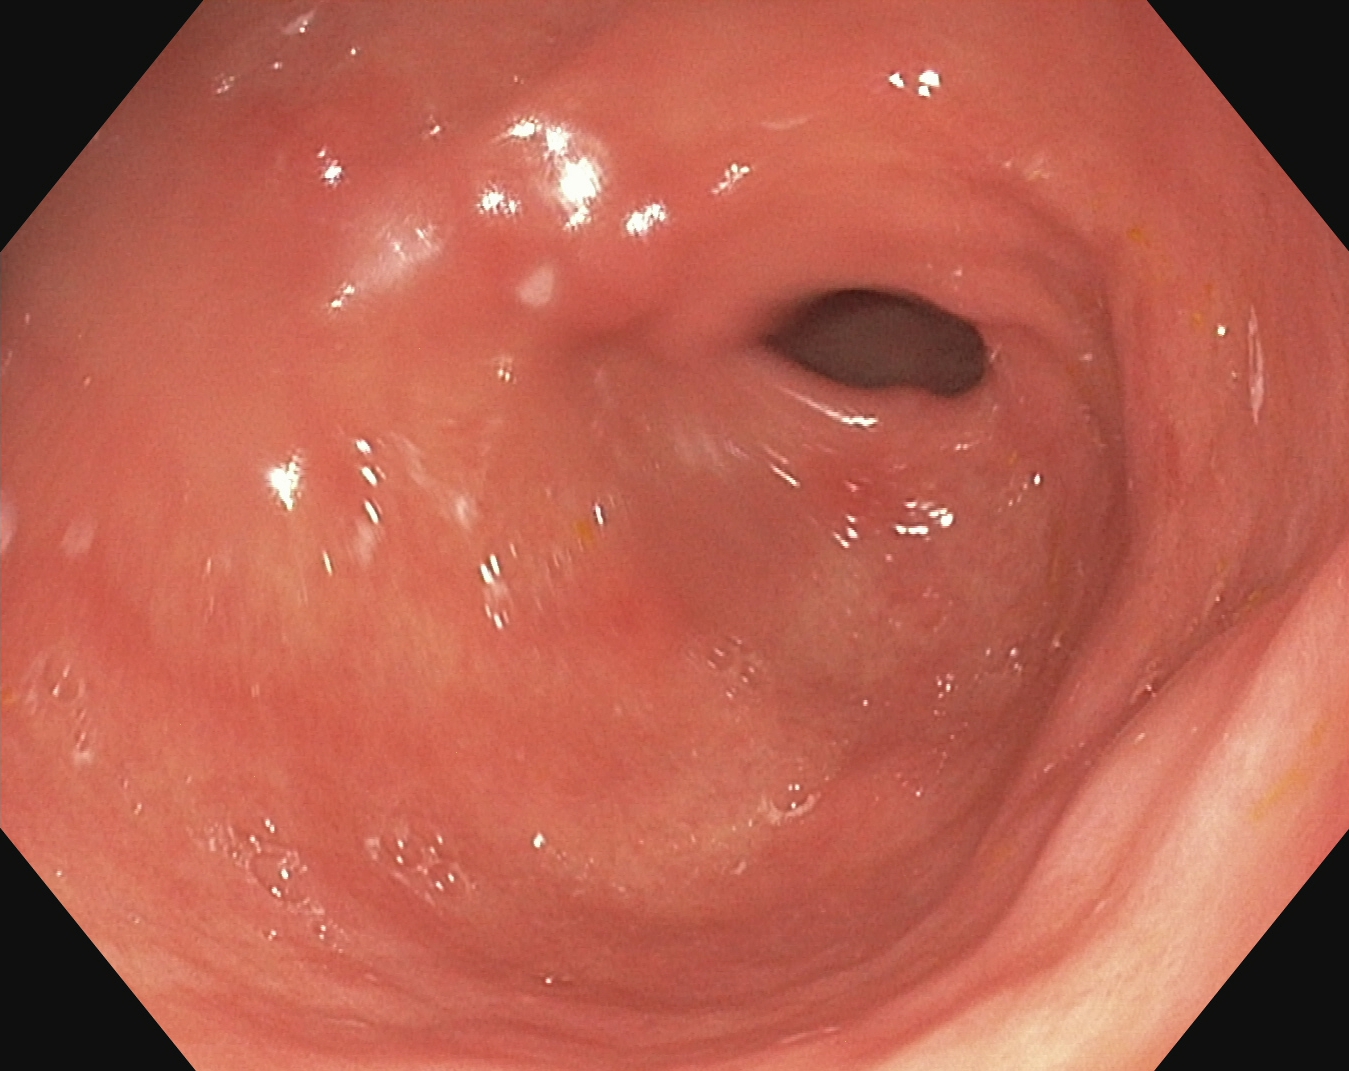This endoscopy frame of the upper GI tract shows pylorus.